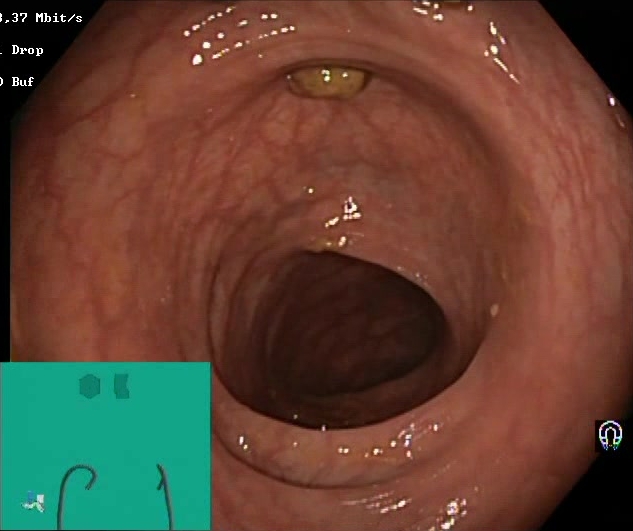Impacted stool.